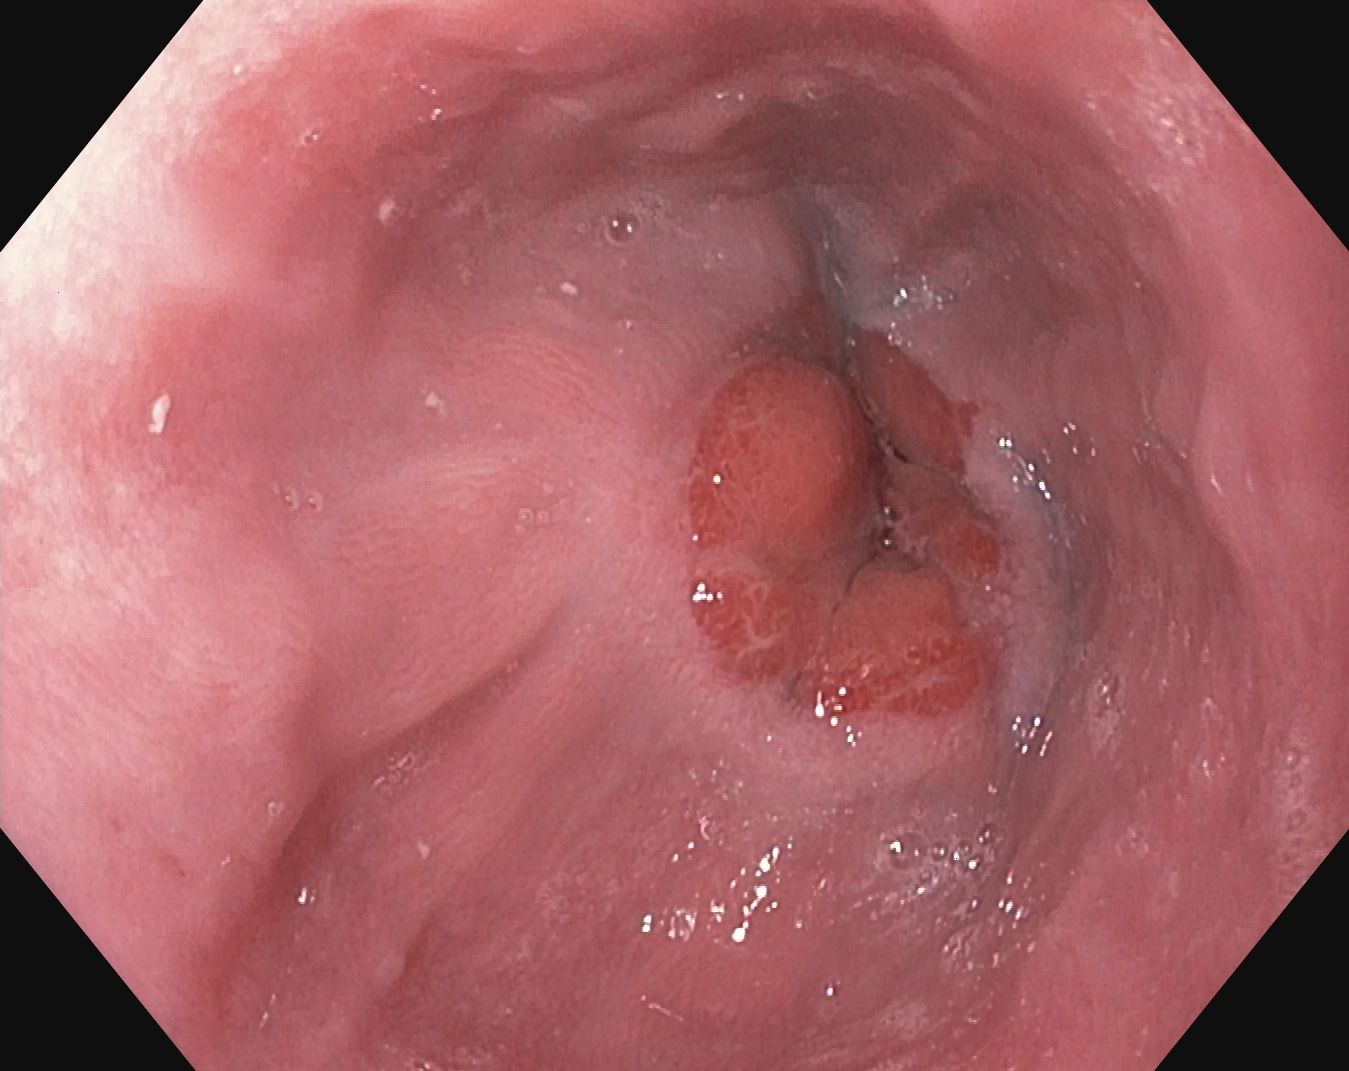Z-line (gastroesophageal junction).